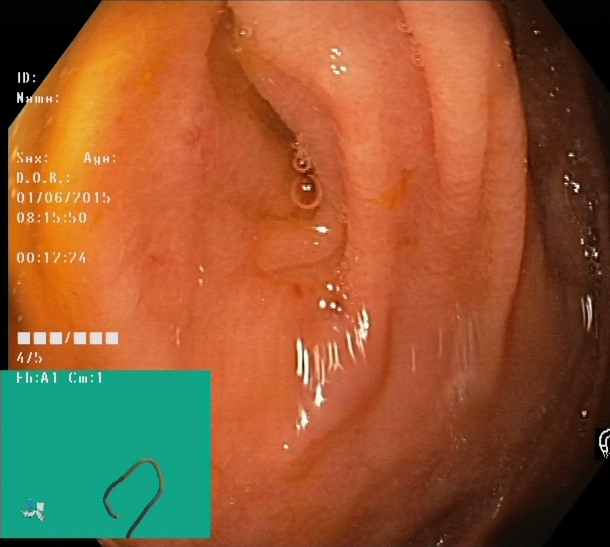PROCEDURE: Lower-GI endoscopy.
FINDINGS: Cecum.